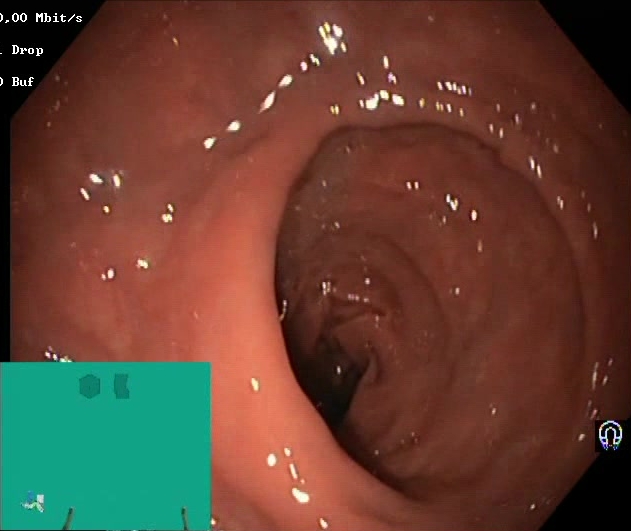{"modality": "lower gastrointestinal endoscopy", "tract": "lower GI tract", "finding": "Boston Bowel Preparation Scale score 2\u20133 (adequate preparation)"}